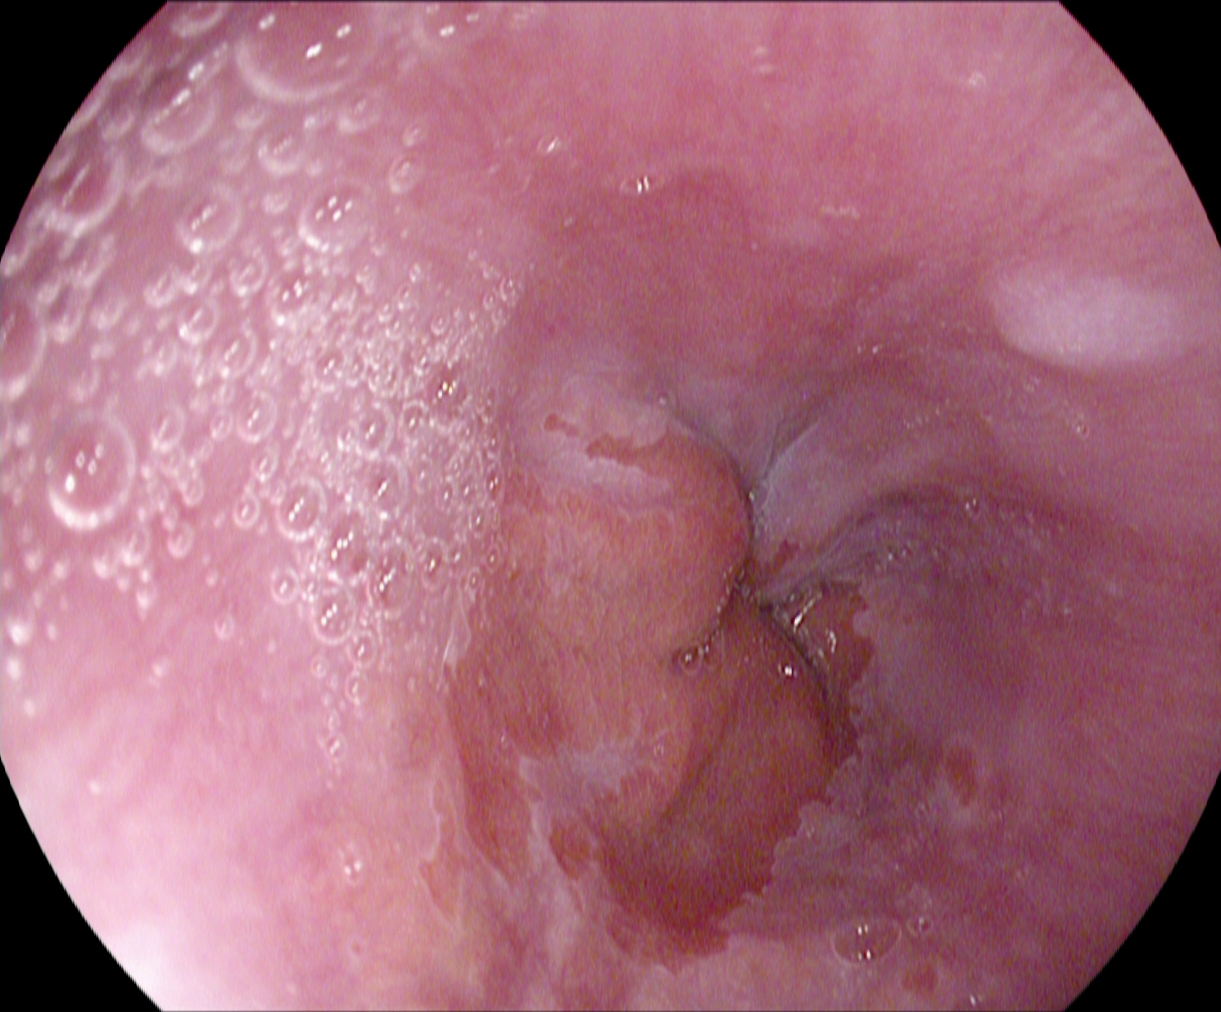PROCEDURE: Upper-GI endoscopy.
CATEGORY: Anatomical landmark.
FINDINGS: Z-line (gastroesophageal junction).